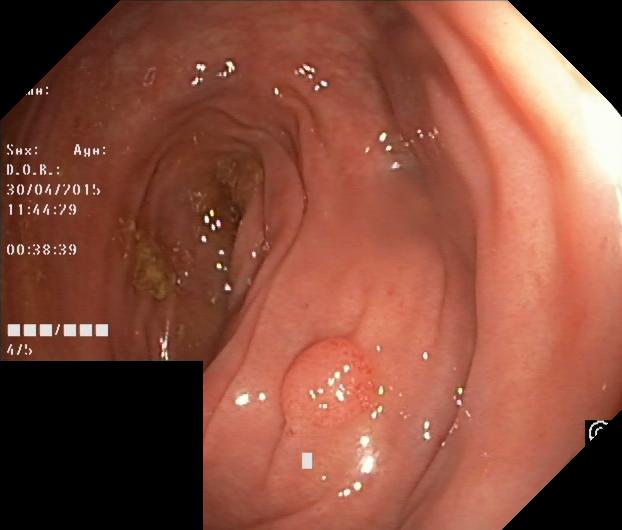Colonoscopy image of the lower GI tract showing colorectal polyp(s).